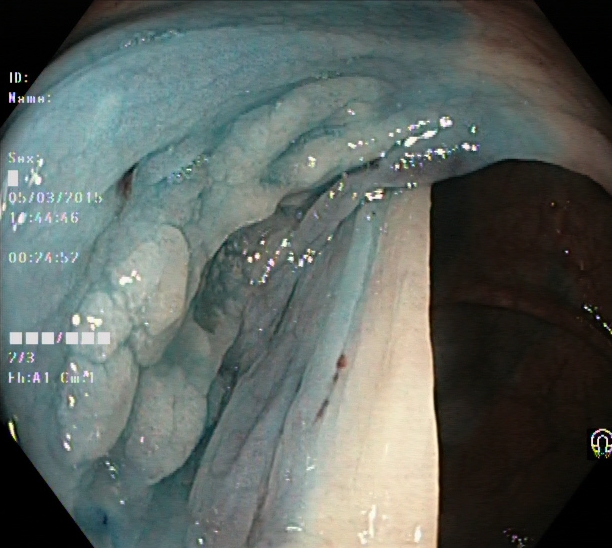This endoscopy frame of the lower GI tract shows dyed and lifted polyp (pre-resection).